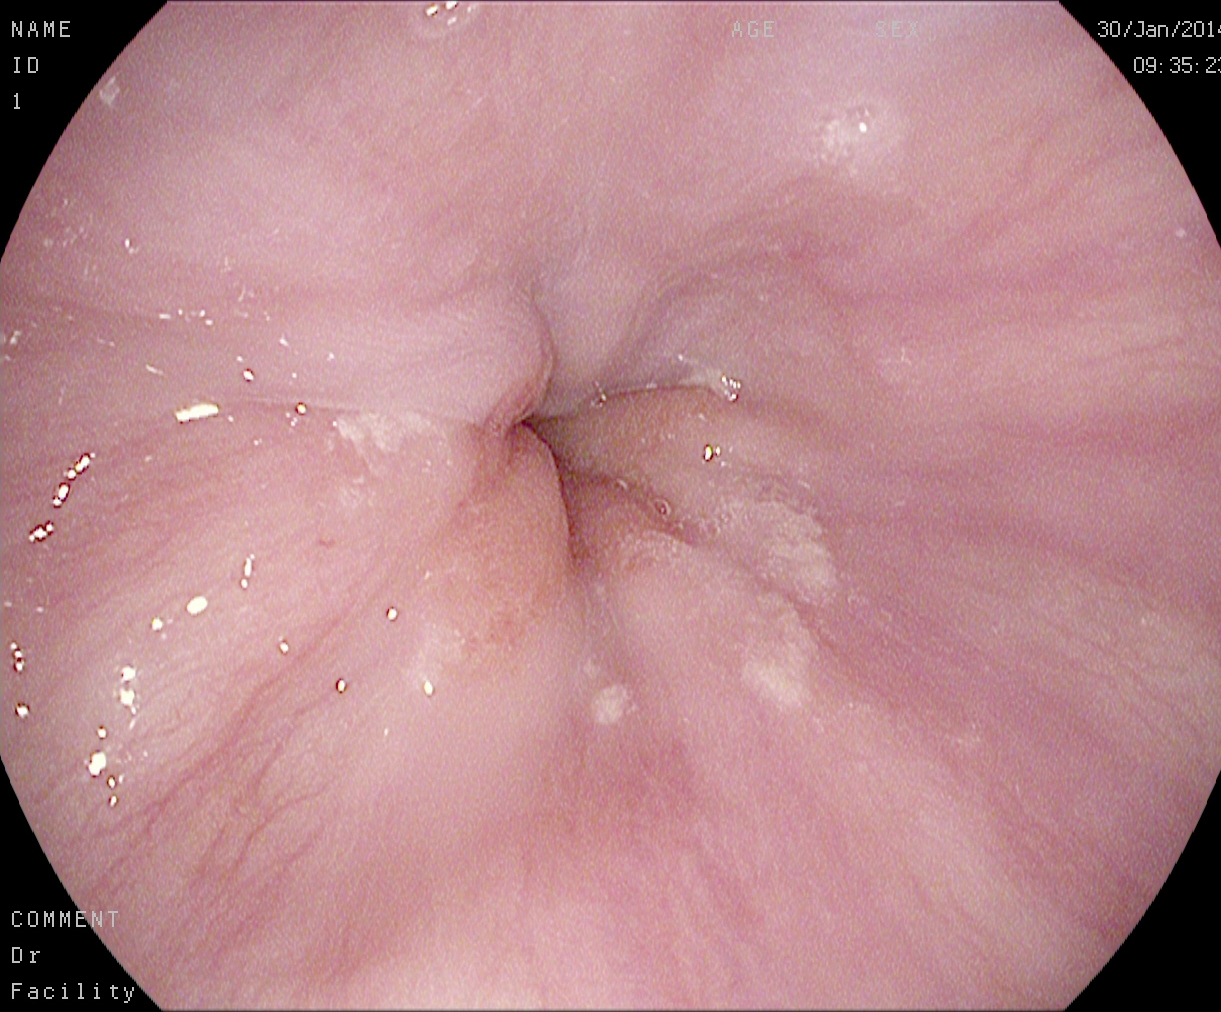This endoscopic image shows Z-line (gastroesophageal junction).